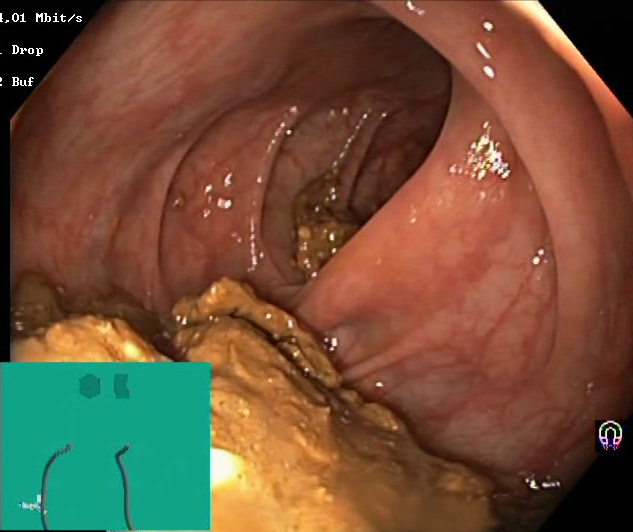PROCEDURE: Lower-GI endoscopy.
CATEGORY: Mucosal-view quality.
FINDINGS: Boston Bowel Preparation Scale score 0–1 (inadequate preparation).